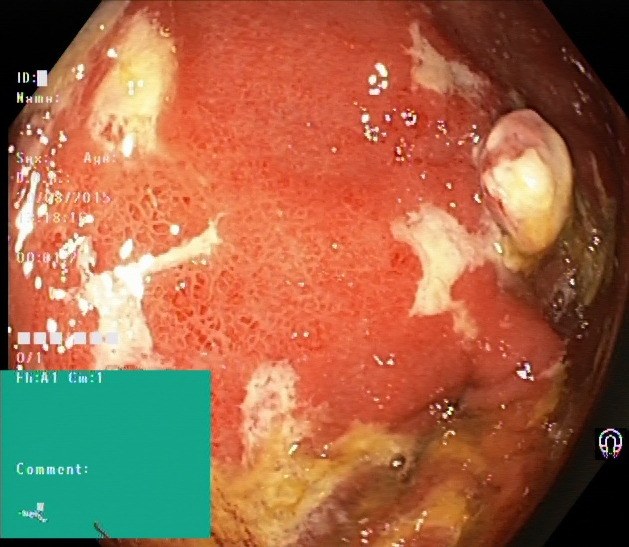Colonoscopy — colorectal polyp(s).